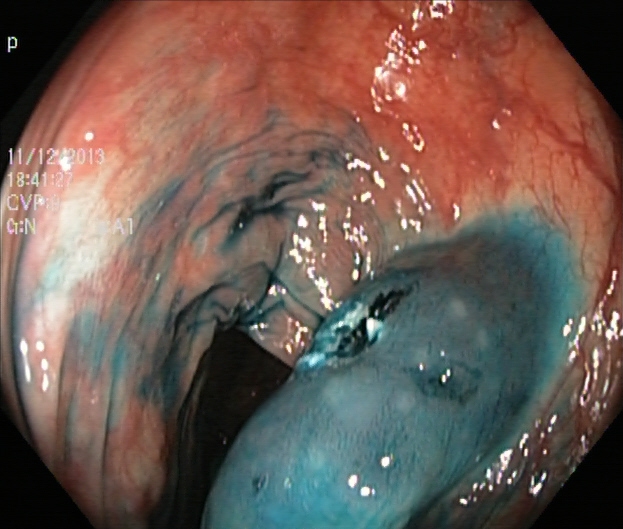{"modality": "lower-GI endoscopy", "tract": "lower GI tract", "category": "therapeutic intervention", "finding": "dyed resection margins (post-polypectomy)"}